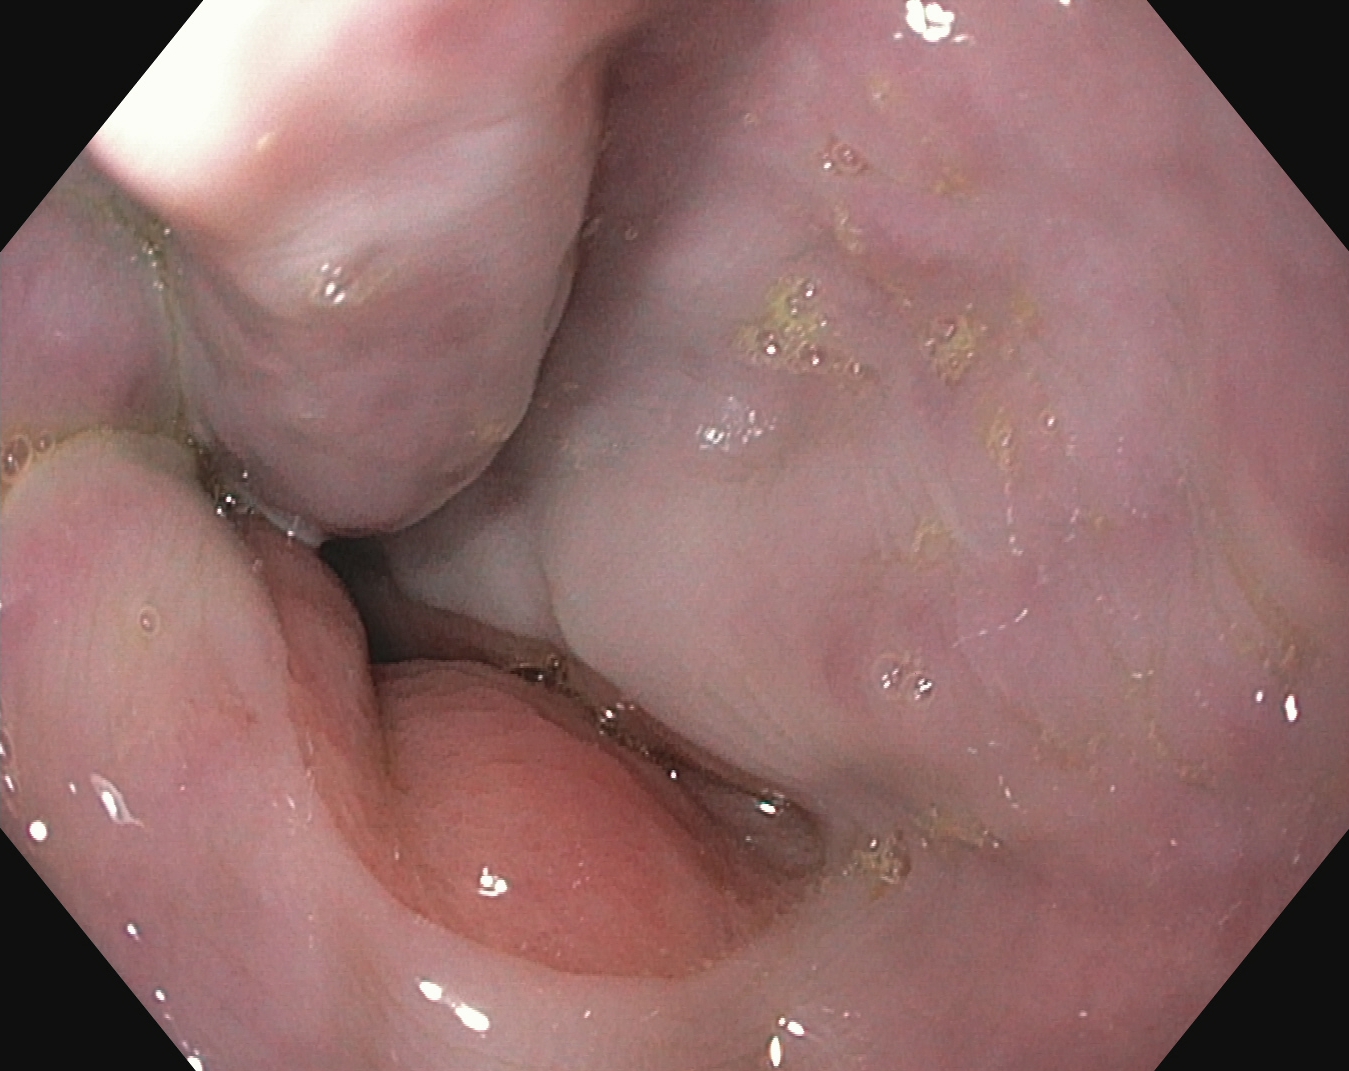{"modality": "esophagogastroduodenoscopy", "tract": "upper GI tract", "category": "anatomical landmark", "finding": "Z-line (gastroesophageal junction)"}